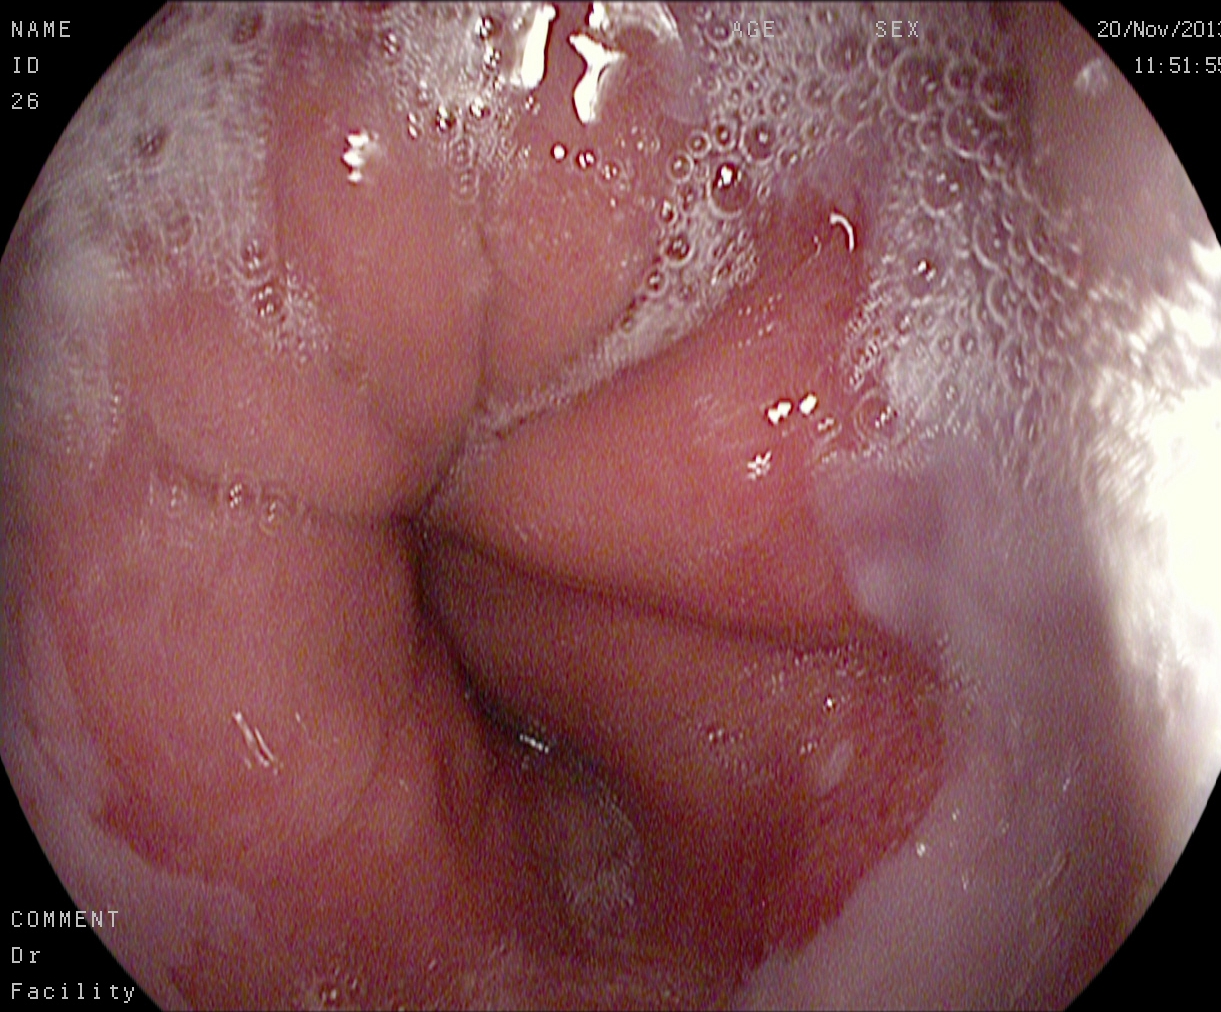PROCEDURE: Upper-GI endoscopy.
FINDINGS: Z-line (gastroesophageal junction).